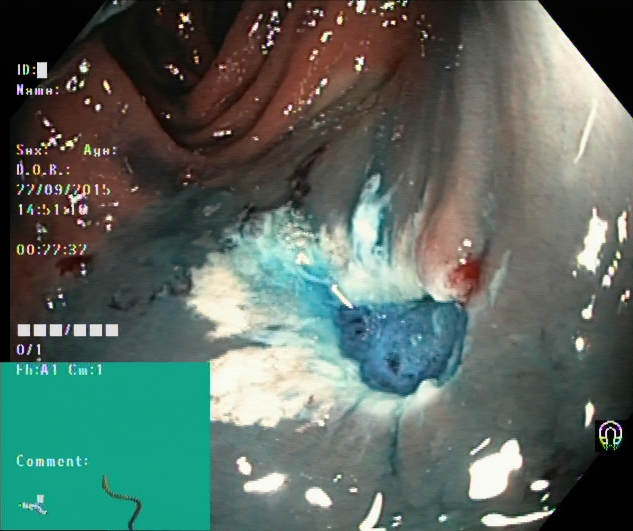Endoscopic frame showing dyed resection margins (post-polypectomy).